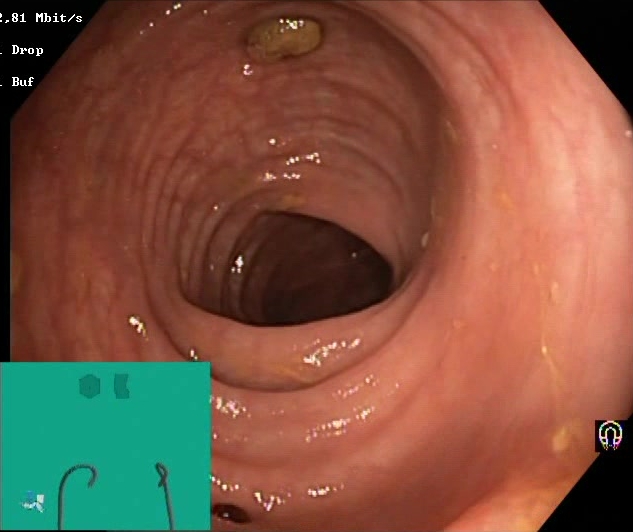Colonoscopy. Finding: impacted stool.